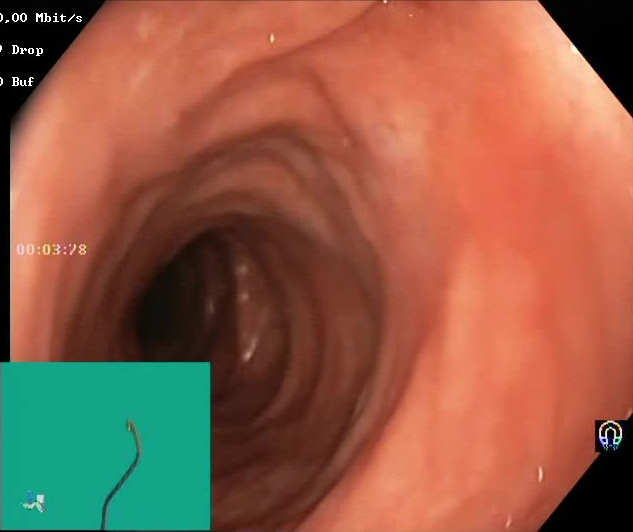modality: lower-GI endoscopy
tract: lower GI tract
category: mucosal-view quality
finding: BBPS score 2–3 (adequate preparation)